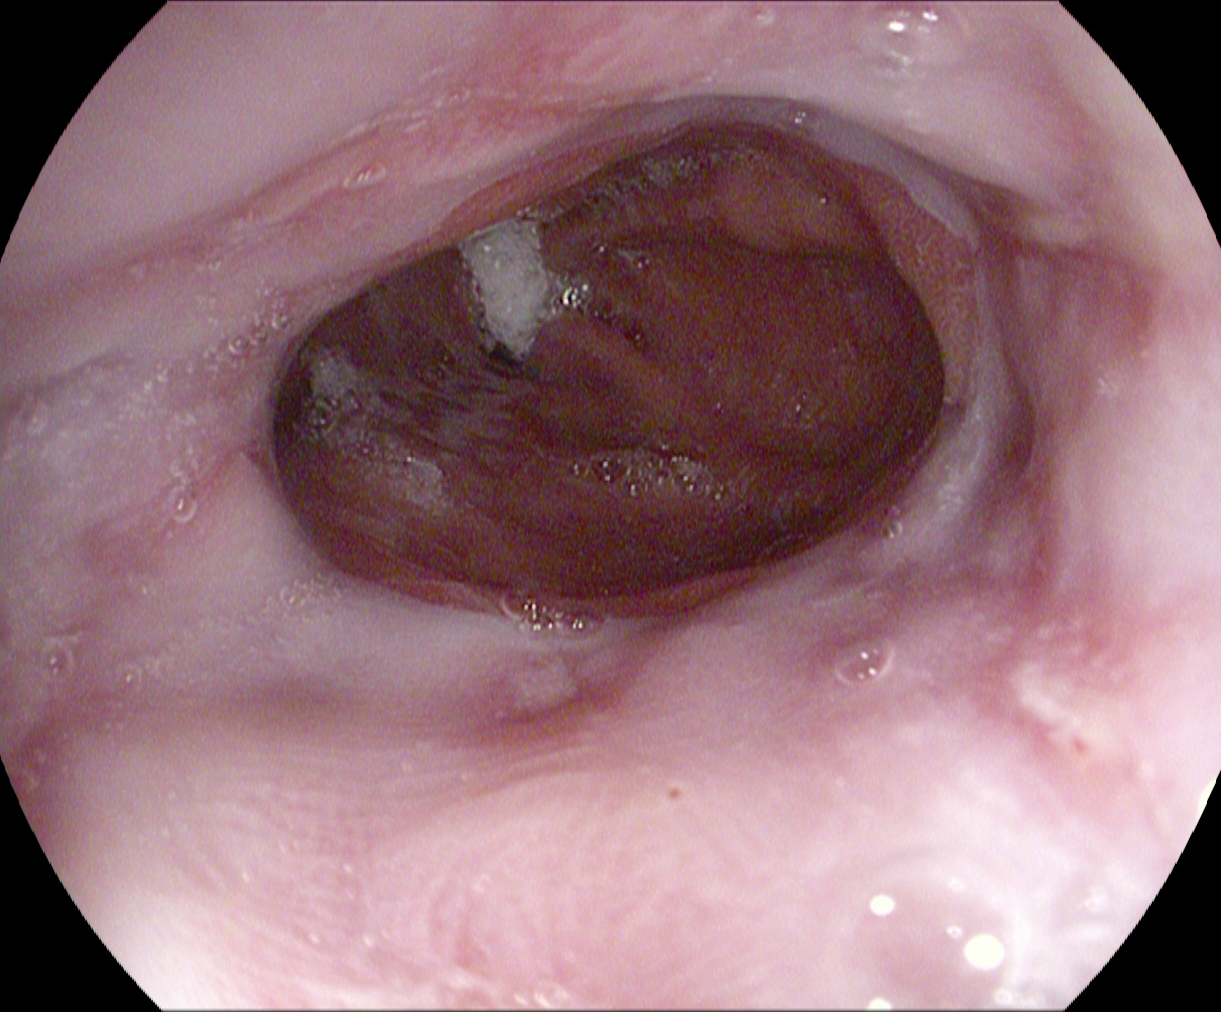This endoscopic image of the upper GI tract shows reflux esophagitis, LA grade B–D.